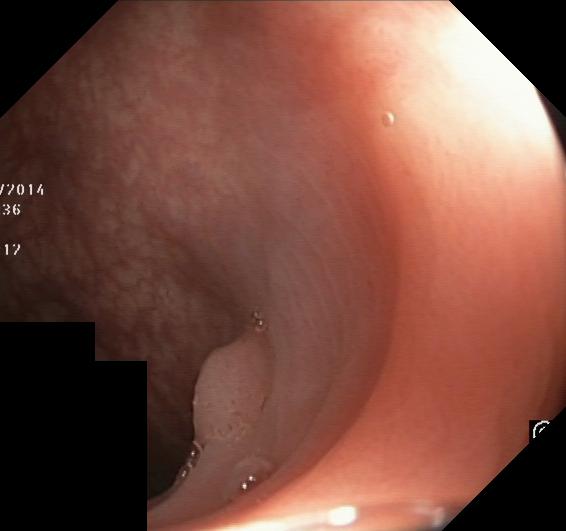This endoscopic image of the lower GI tract shows colorectal polyp(s).